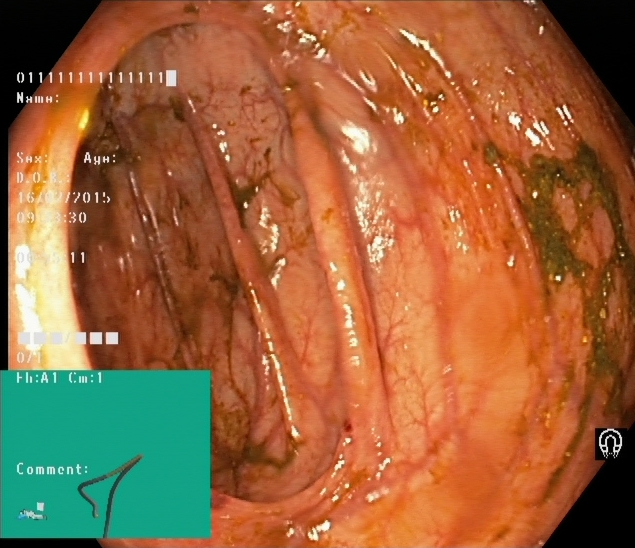Colonoscopy — Boston Bowel Preparation Scale score 0–1 (inadequate preparation).